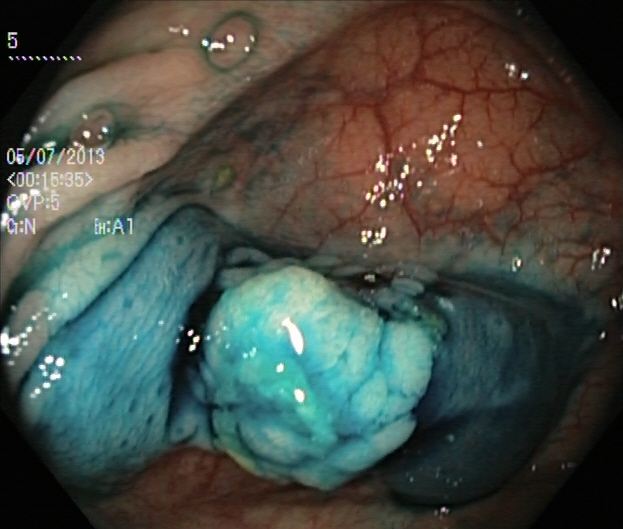PROCEDURE: Lower gastrointestinal endoscopy.
FINDINGS: Dyed and lifted polyp (pre-resection).